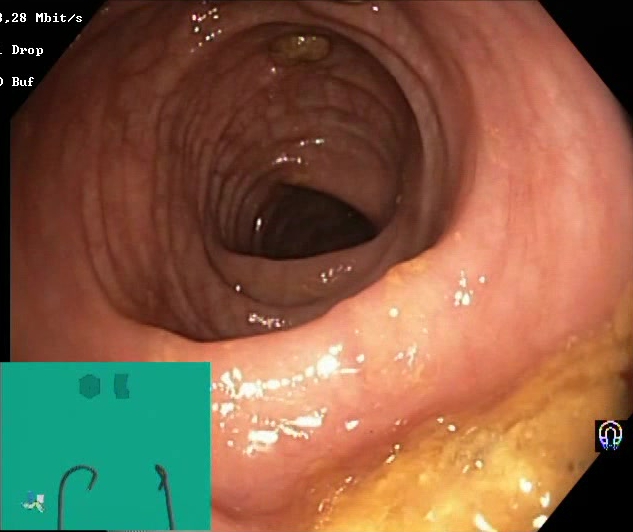This endoscopic image shows impacted stool.